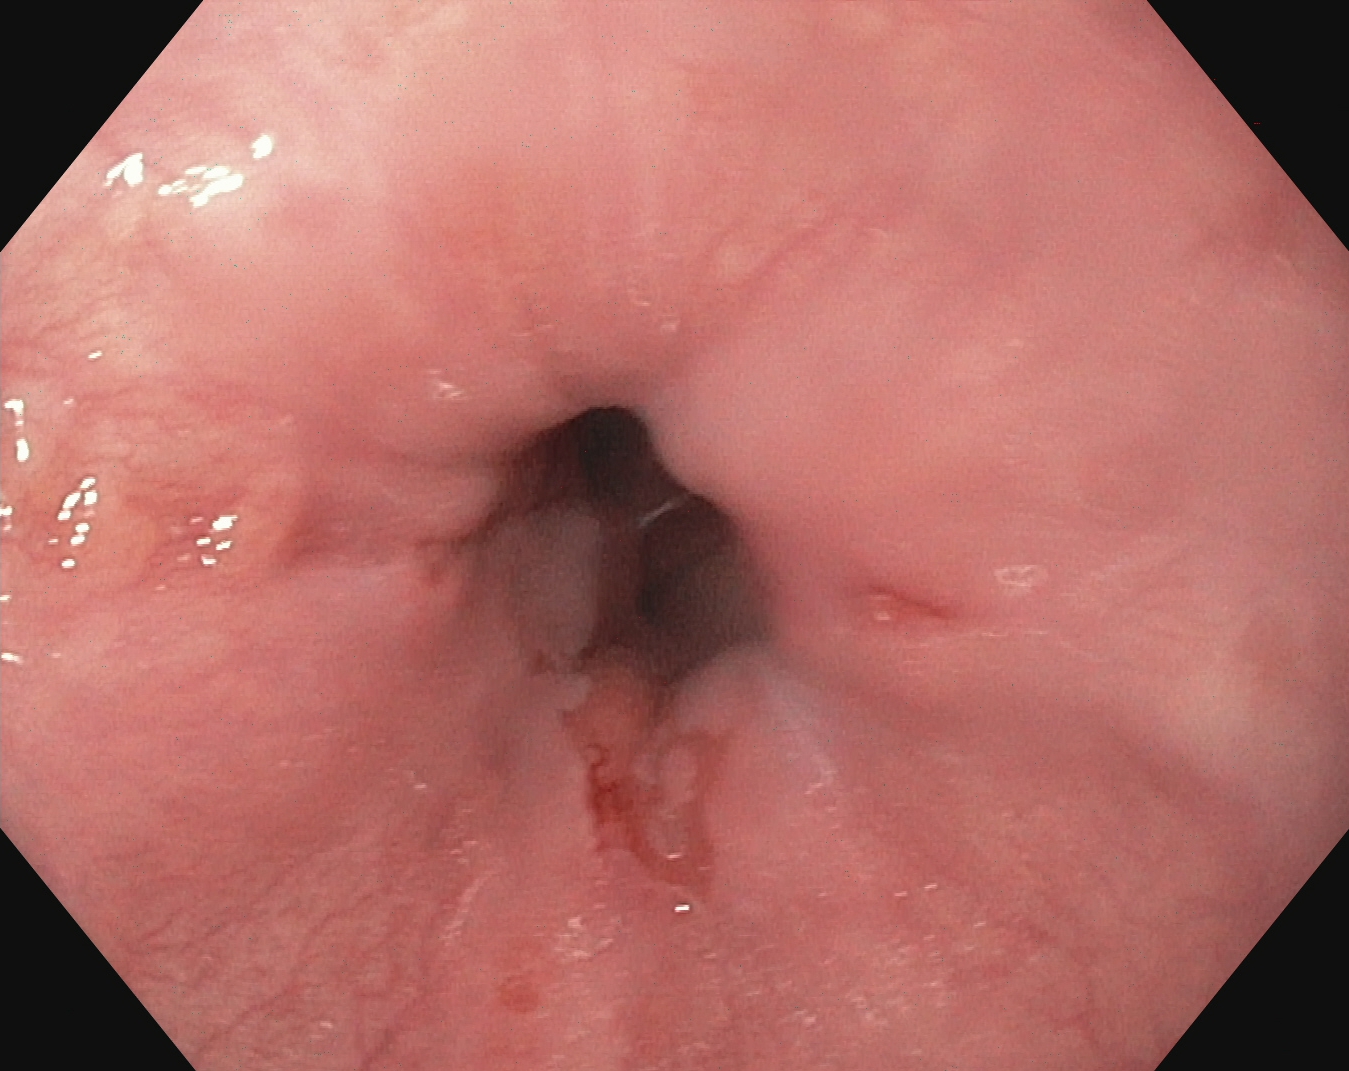PROCEDURE: EGD.
FINDINGS: Reflux esophagitis, Los Angeles grade B–D.